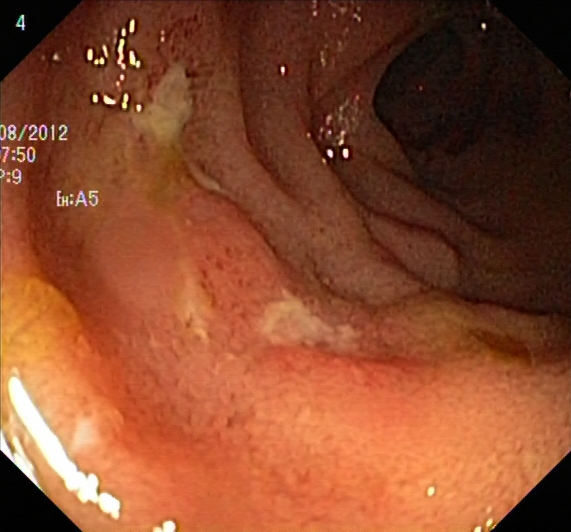{"modality": "lower-GI endoscopy", "tract": "lower GI tract", "finding": "UC, Mayo endoscopic subscore 3"}